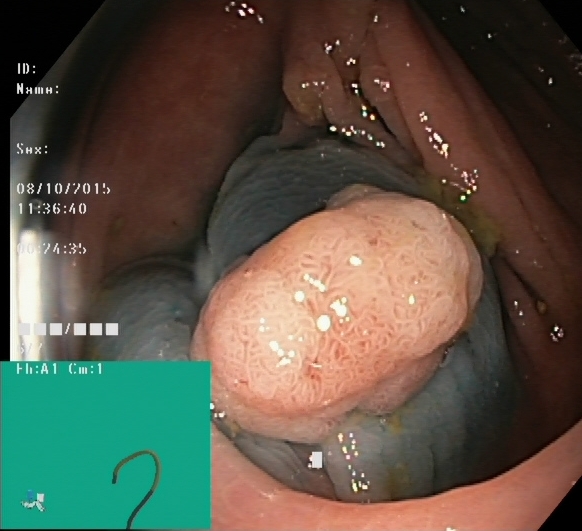Colonoscopy — dyed and lifted polyp (pre-resection).